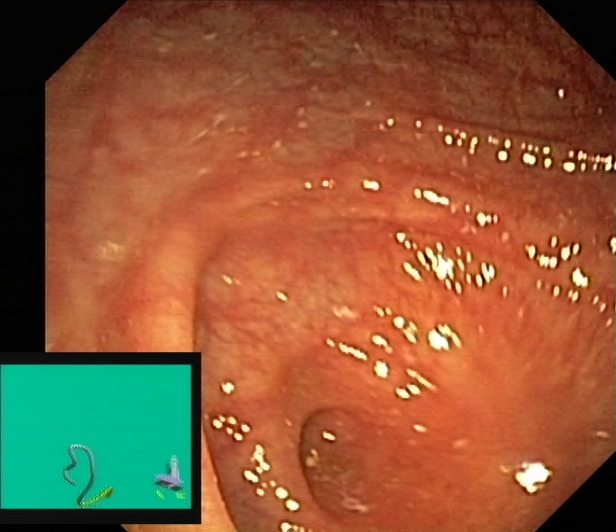Cecum.